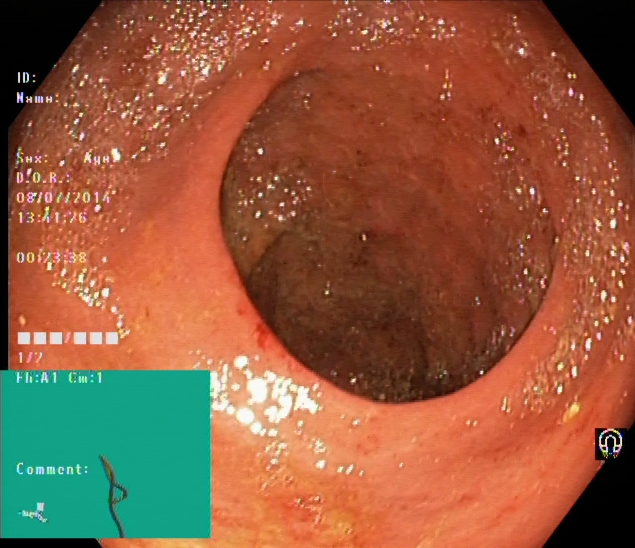Ulcerative colitis, Mayo endoscopic subscore 1.